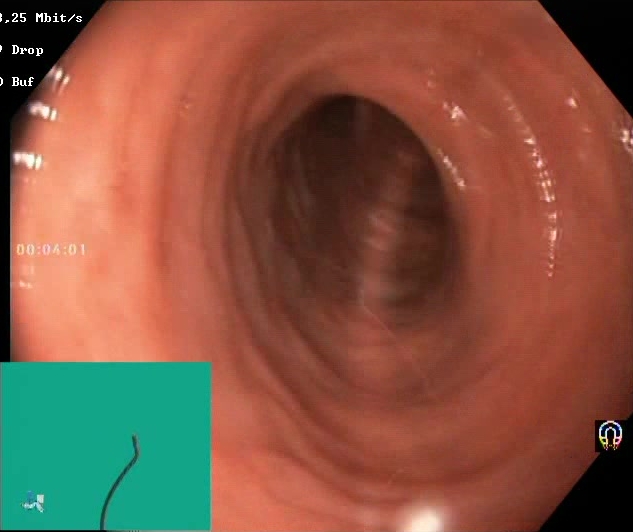Lower gastrointestinal endoscopy. Mucosal-view quality. Finding: Boston Bowel Preparation Scale score 2–3 (adequate preparation).